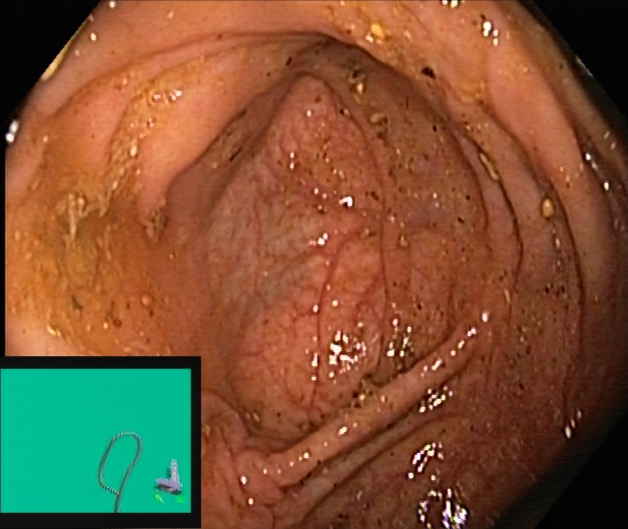modality: lower-GI endoscopy
tract: lower GI tract
finding: cecum